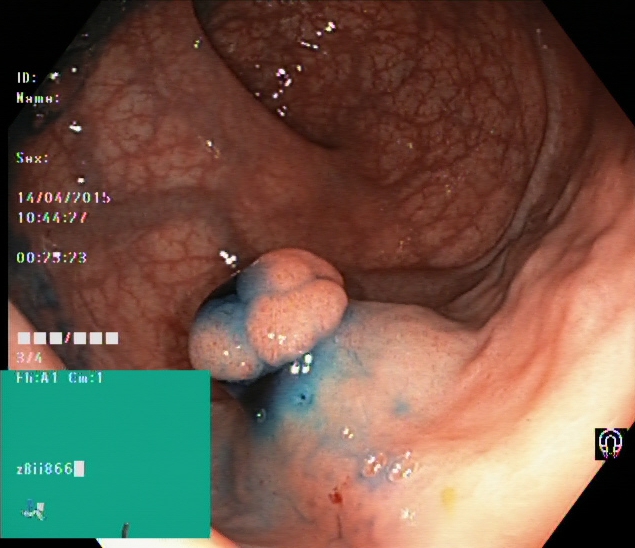Colonoscopy. Tract: lower GI tract. Therapeutic intervention. Finding: dyed and lifted polyp (pre-resection).